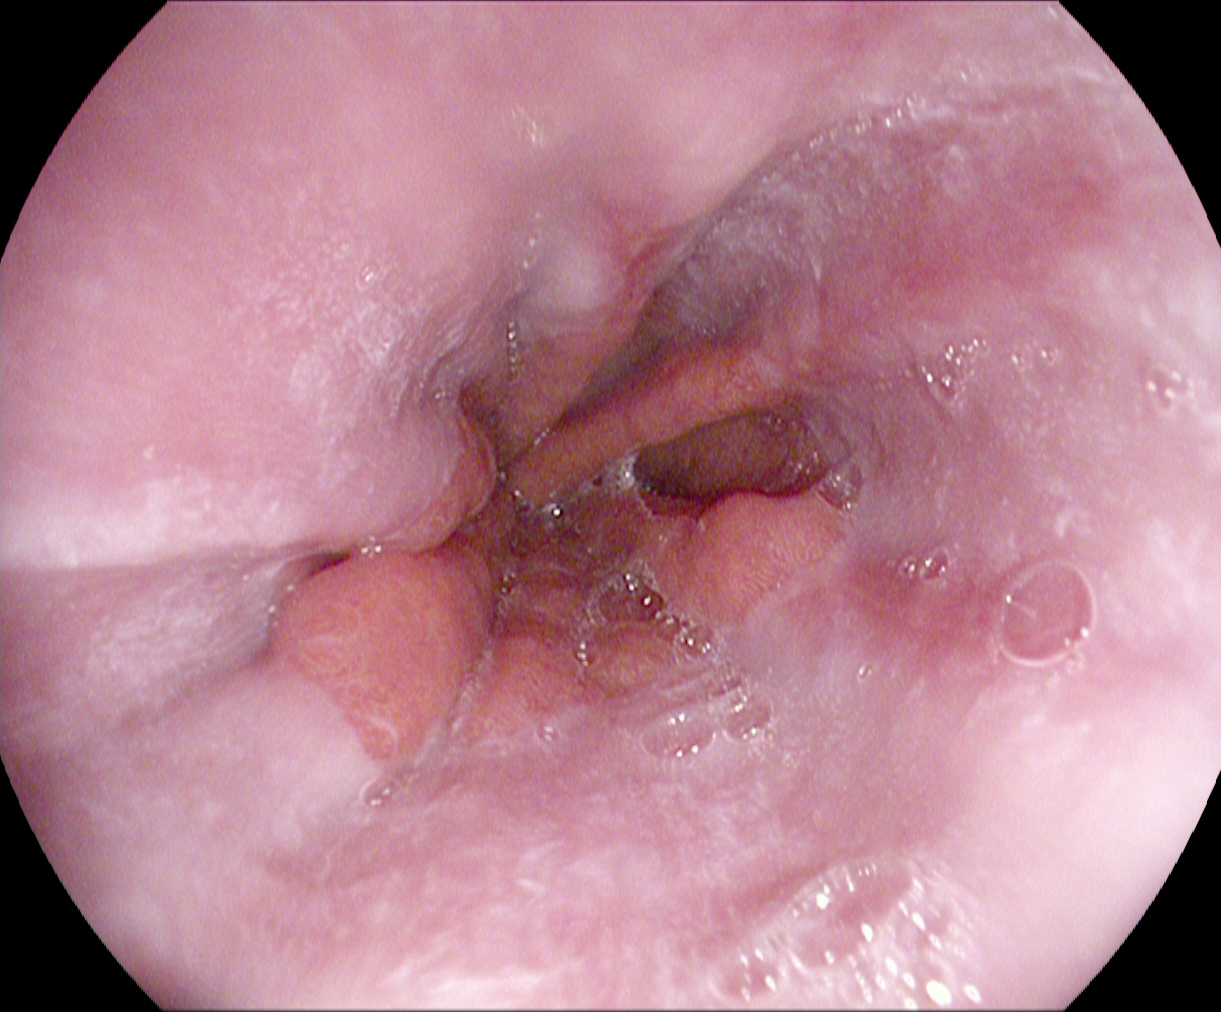This endoscopy frame shows reflux esophagitis, Los Angeles grade A.